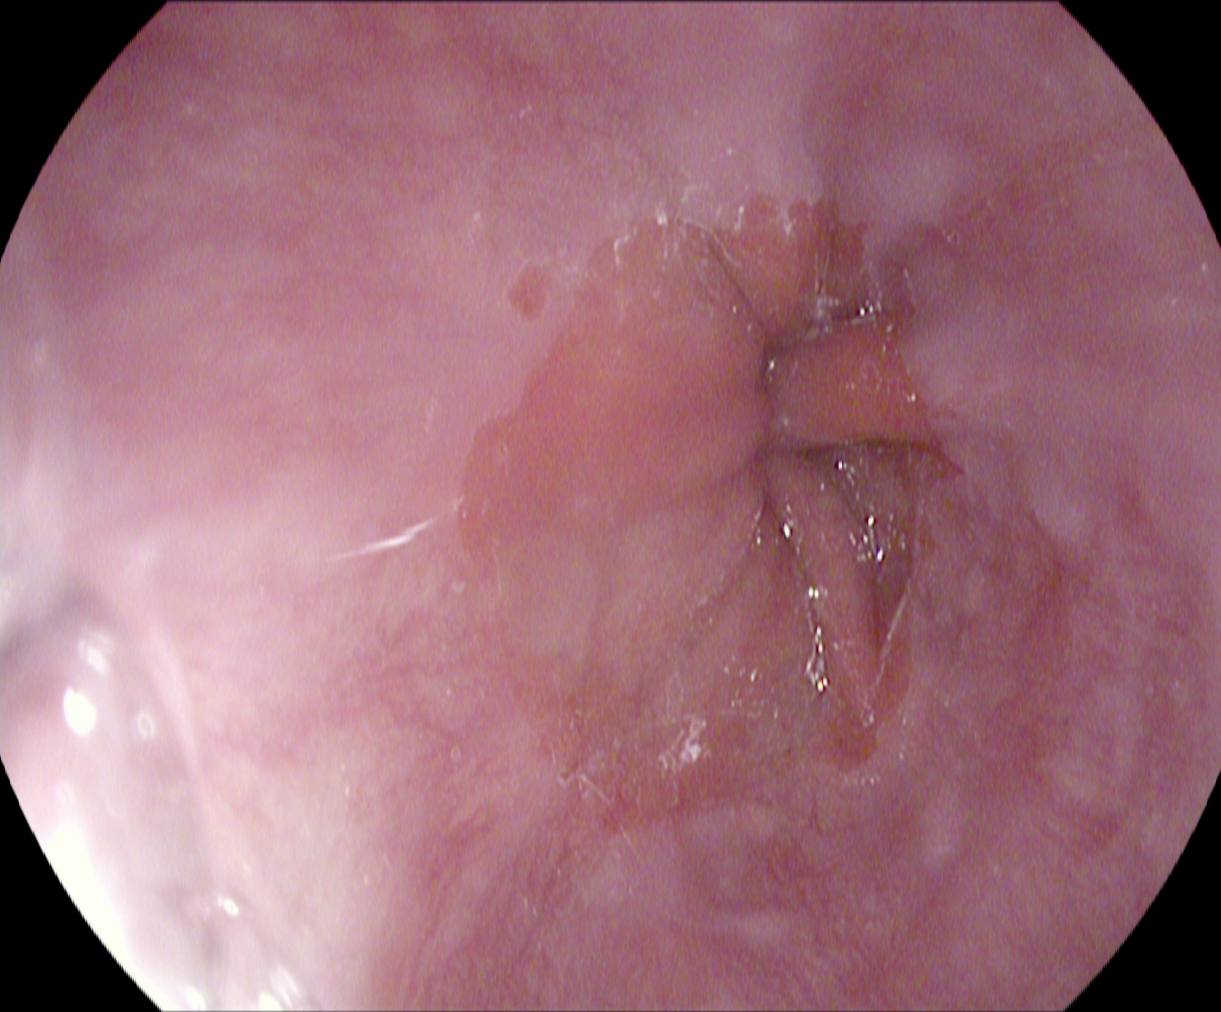Upper-GI endoscopy. Anatomical landmark. Finding: Z-line (gastroesophageal junction).